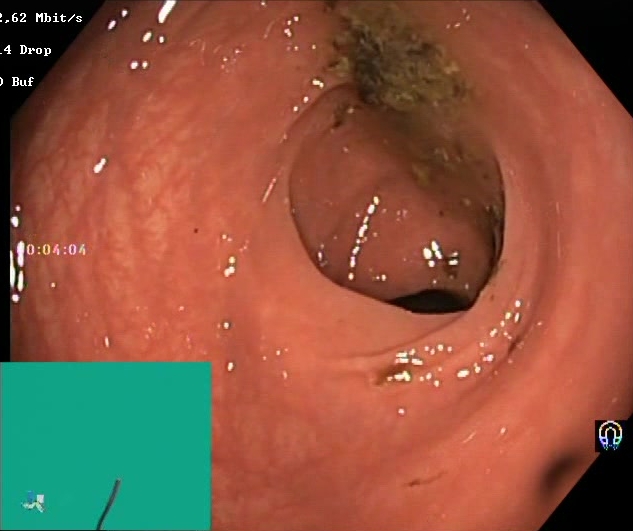PROCEDURE: Lower gastrointestinal endoscopy.
FINDINGS: BBPS score 0–1 (inadequate preparation).